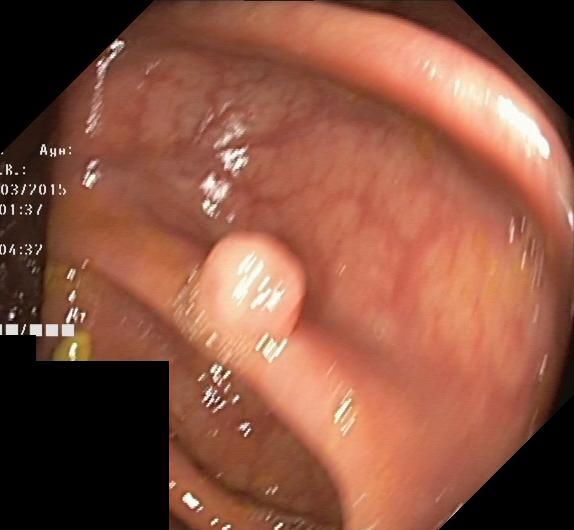{"modality": "colonoscopy", "tract": "lower GI tract", "finding": "colorectal polyp(s)"}